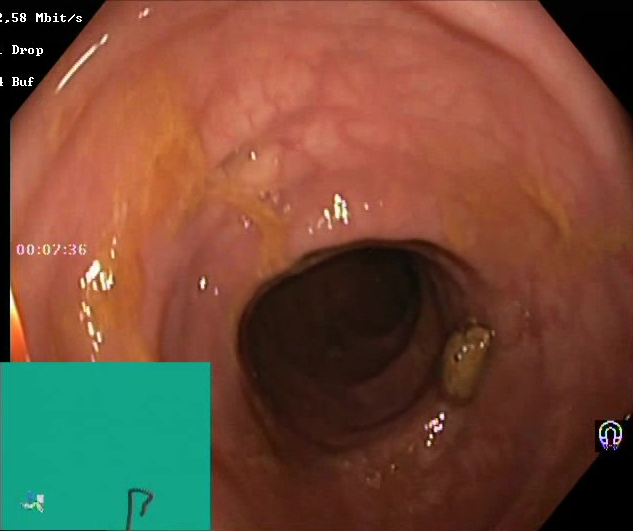PROCEDURE: Lower gastrointestinal endoscopy.
FINDINGS: Boston Bowel Preparation Scale score 2–3 (adequate preparation).